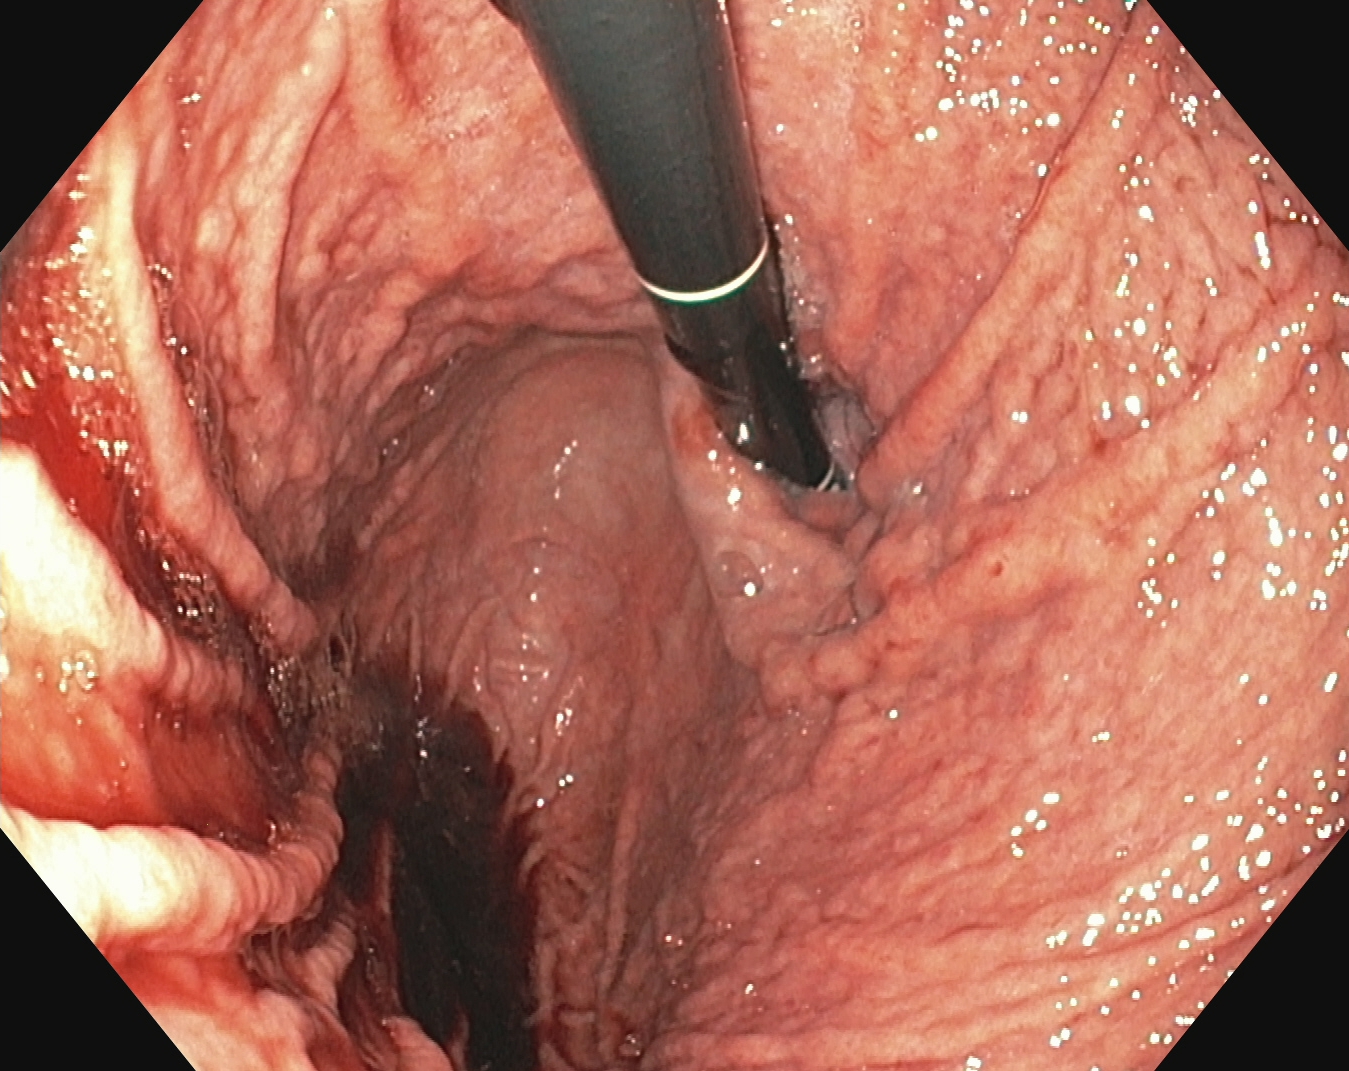EGD. Finding: stomach in retroflexion.